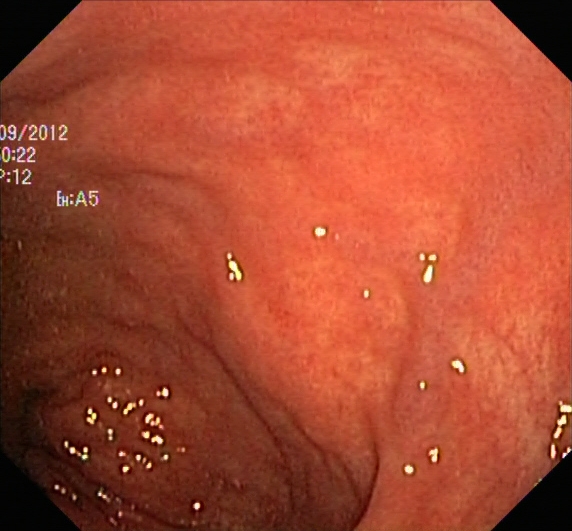Lower gastrointestinal endoscopy. Tract: lower GI tract. Finding: ulcerative colitis, Mayo endoscopic subscore 1.